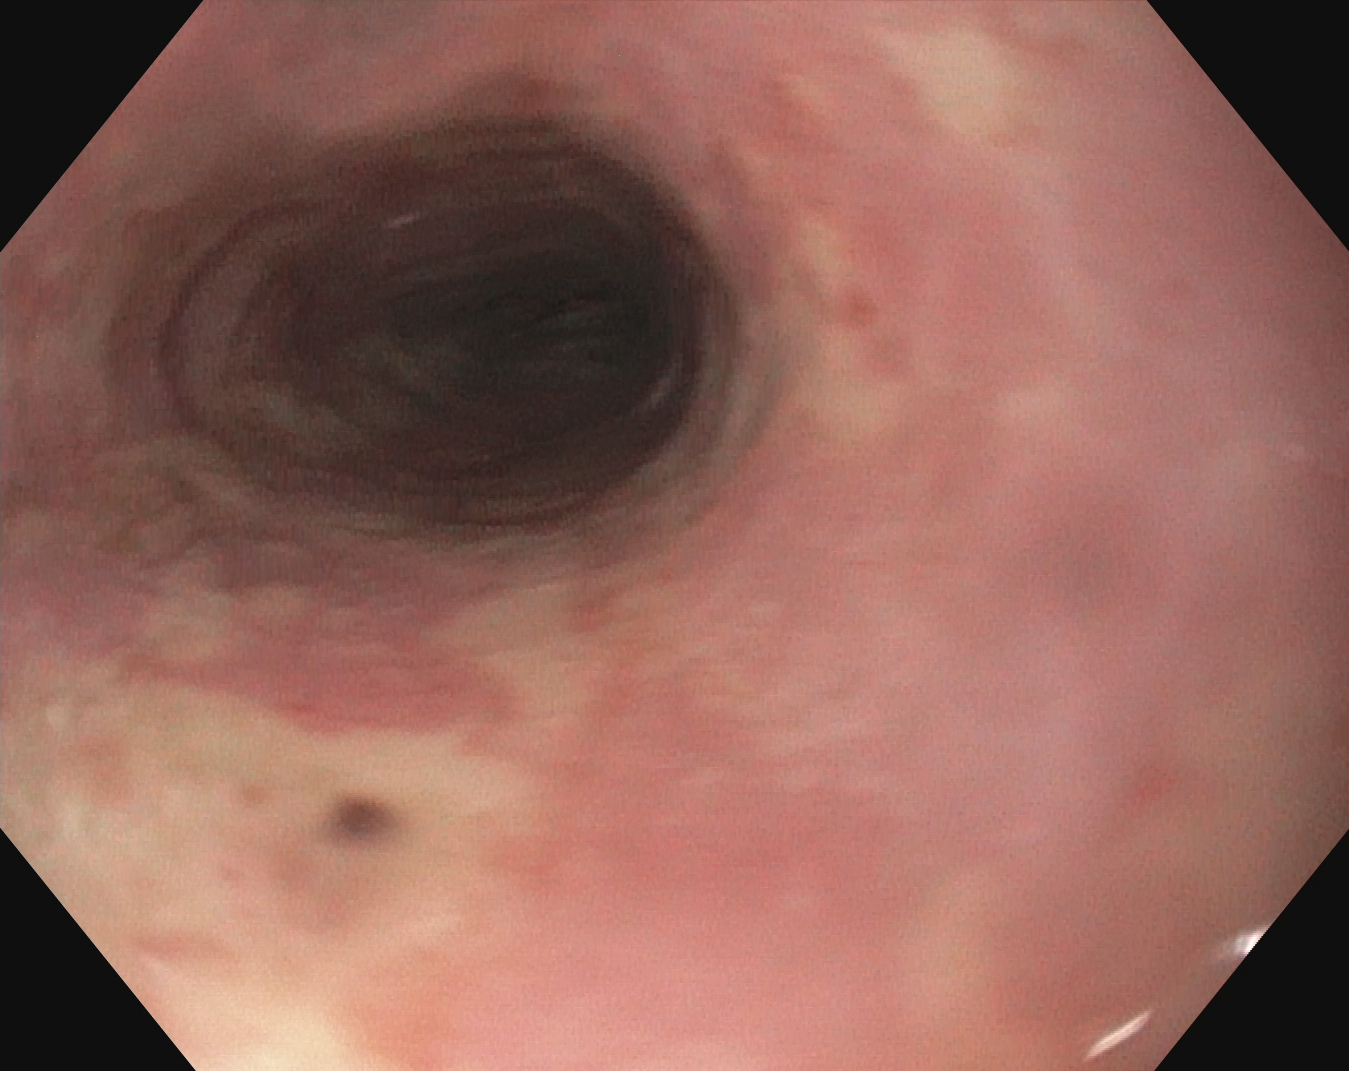Upper-GI endoscopy. Tract: upper GI tract. Finding: reflux esophagitis, Los Angeles grade B–D.